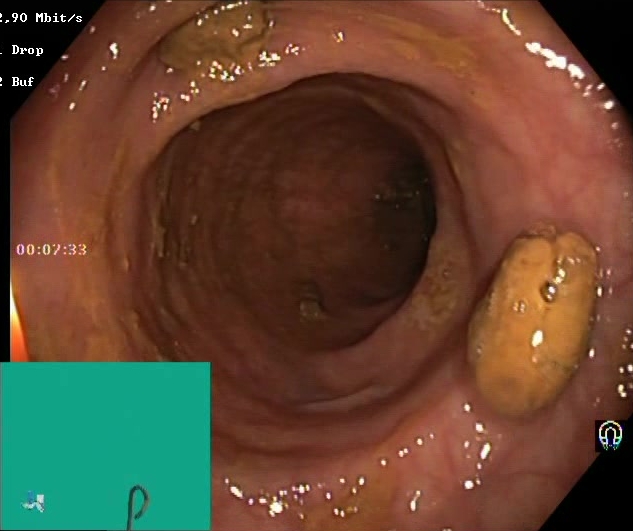Lower-GI endoscopy. Finding: impacted stool.